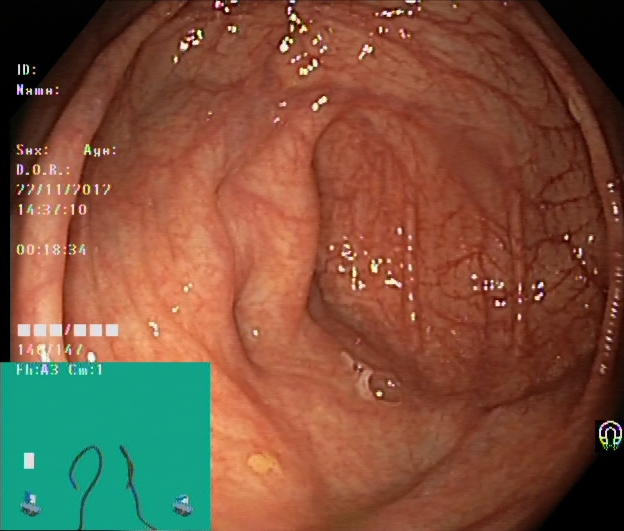Colonoscopy — cecum.